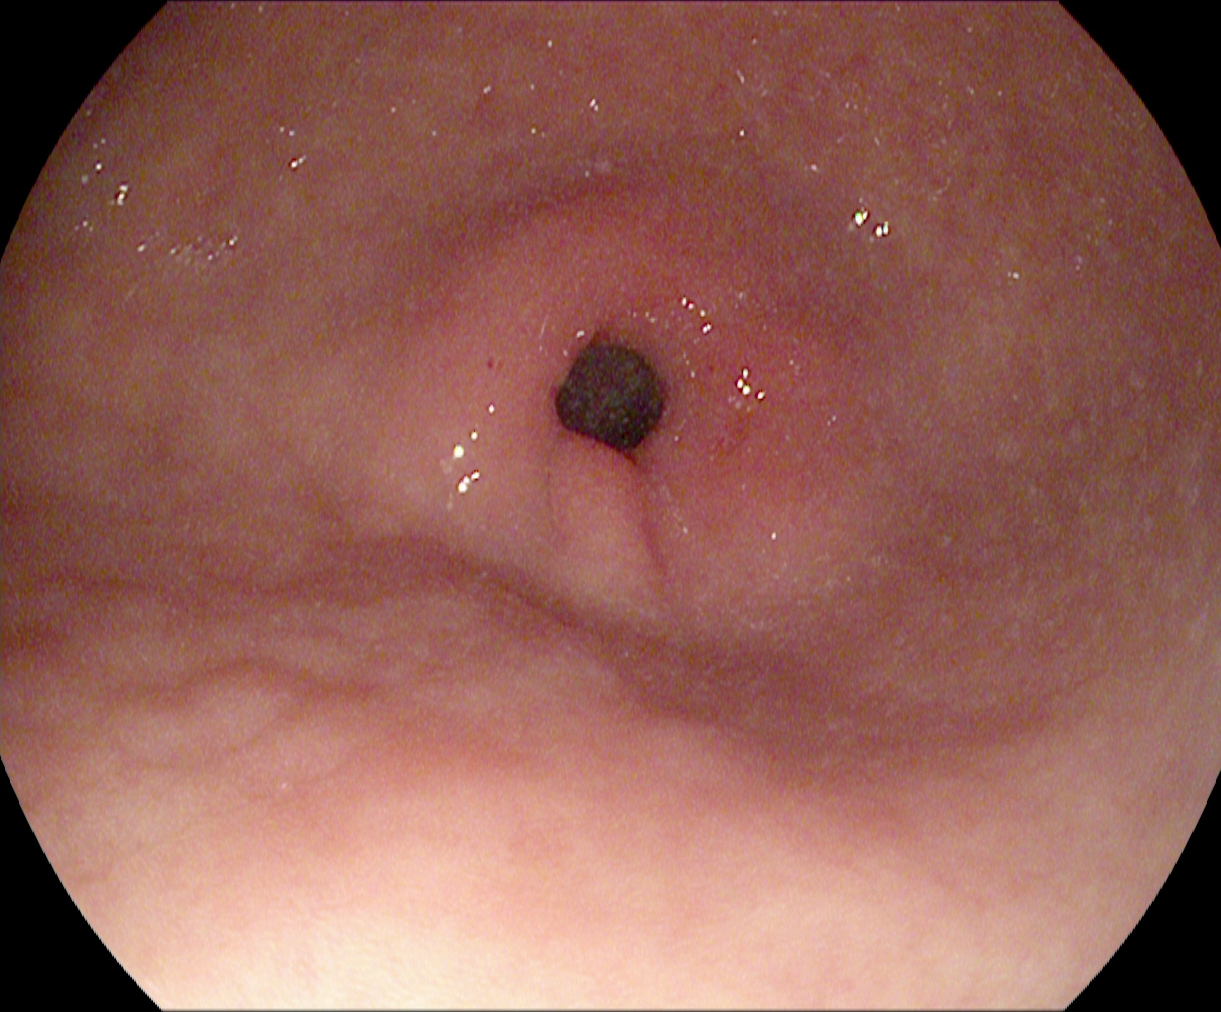PROCEDURE: Esophagogastroduodenoscopy.
FINDINGS: Pylorus.